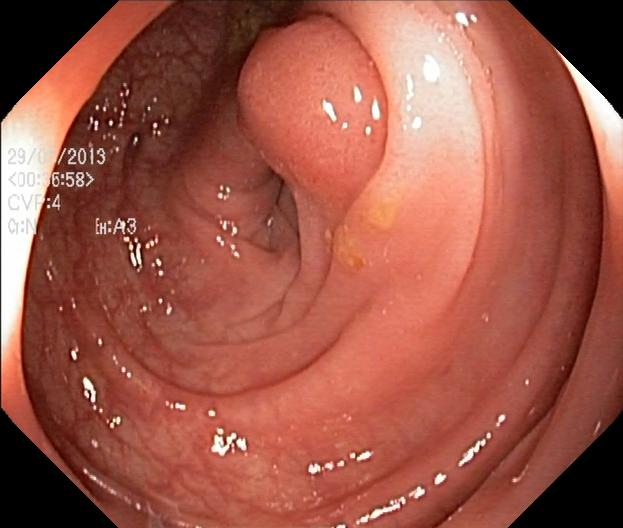Colonoscopy. Tract: lower GI tract. Finding: colorectal polyp(s).